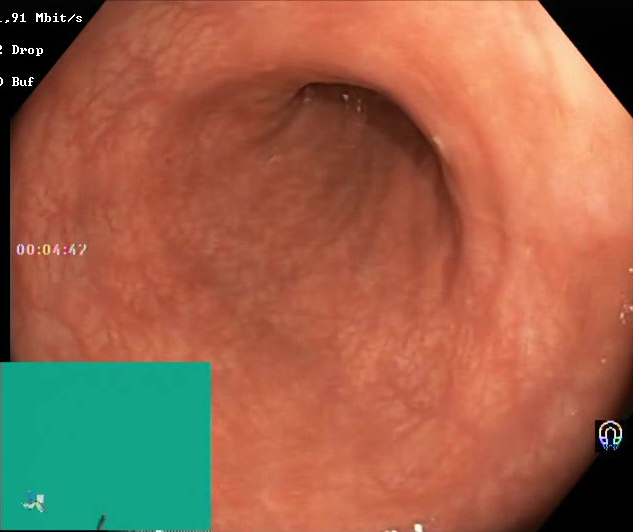Lower gastrointestinal endoscopy image of the lower GI tract showing BBPS score 2–3 (adequate preparation).